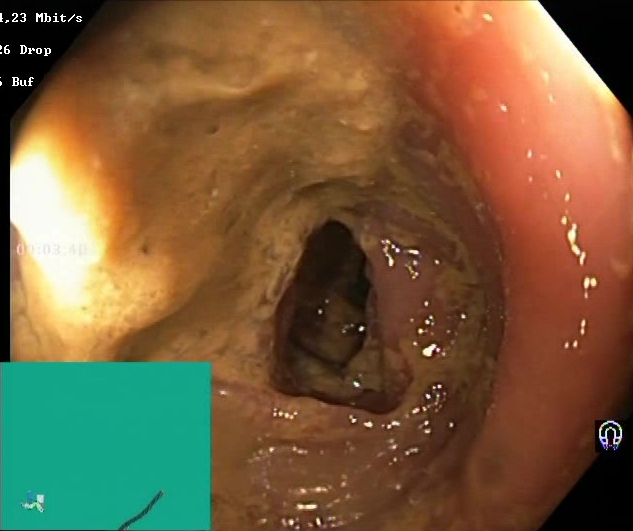PROCEDURE: Lower-GI endoscopy.
CATEGORY: Mucosal-view quality.
FINDINGS: Boston Bowel Preparation Scale score 0–1 (inadequate preparation).